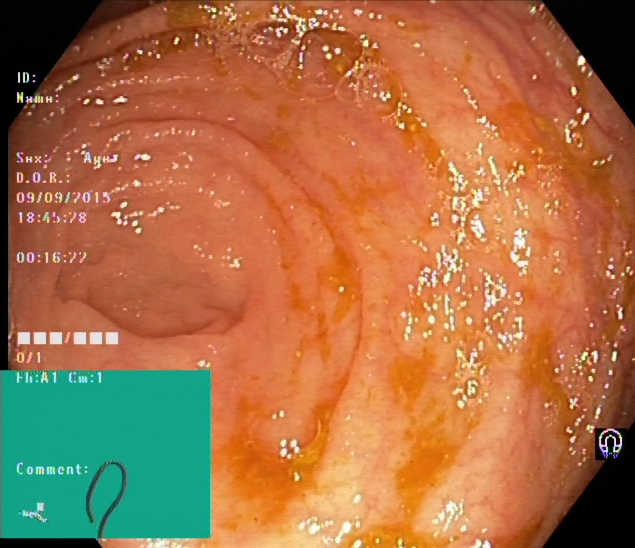Gastrointestinal endoscopy image showing cecum.